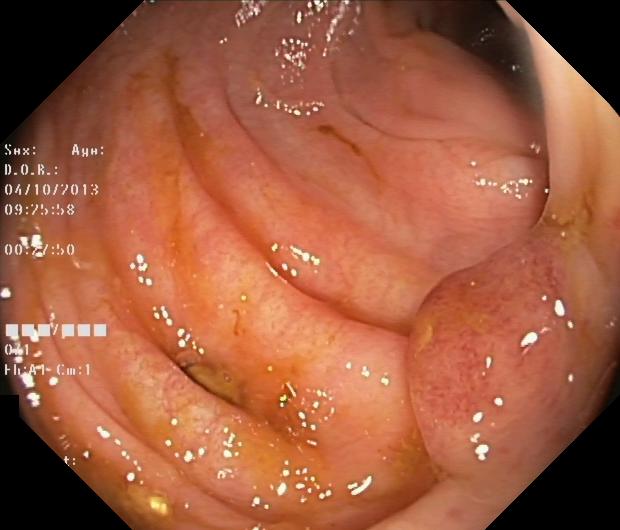This endoscopy frame shows colorectal polyp(s).